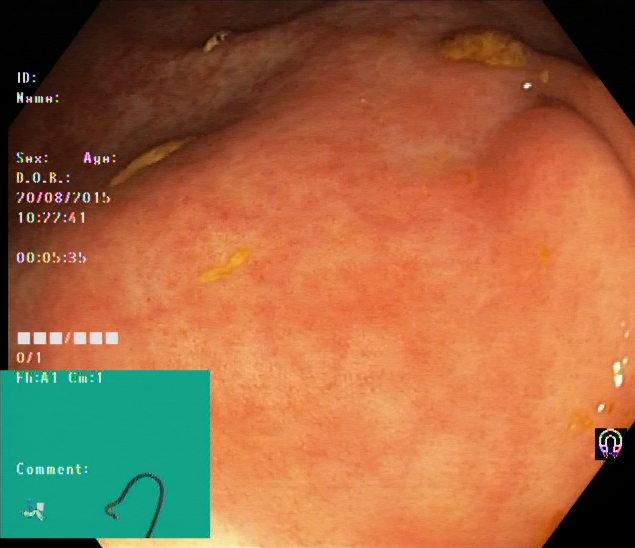This endoscopic image shows ulcerative colitis, Mayo endoscopic subscore 1.